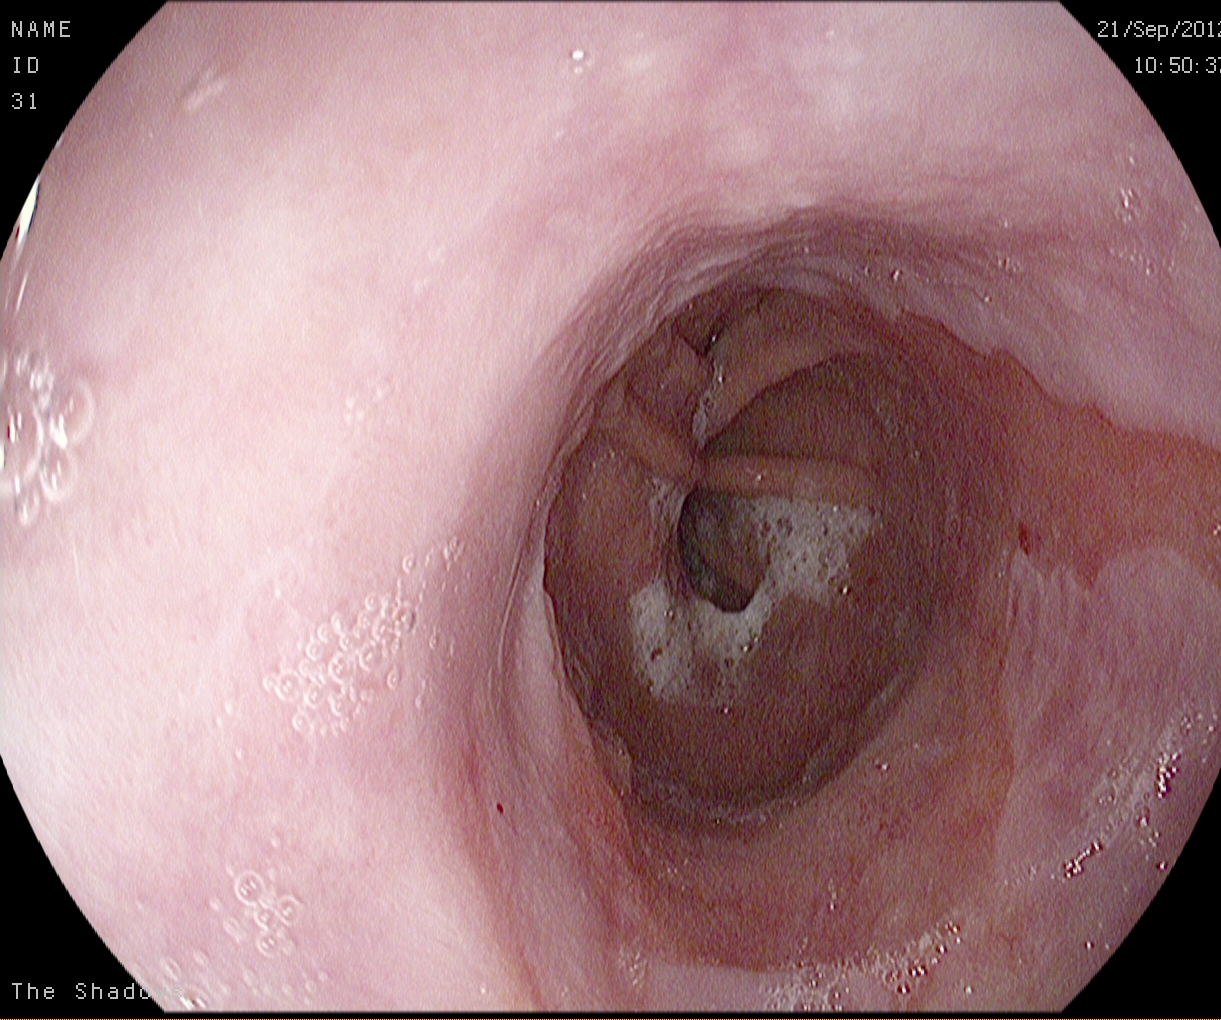EGD image showing Barrett's esophagus.